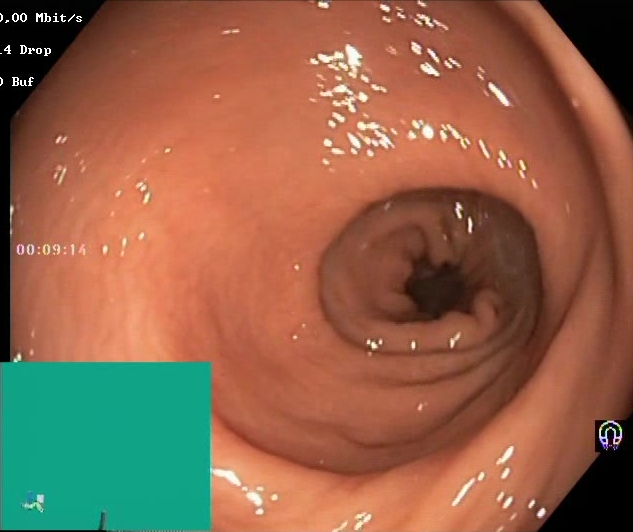Lower-GI endoscopy — Boston Bowel Preparation Scale score 2–3 (adequate preparation).